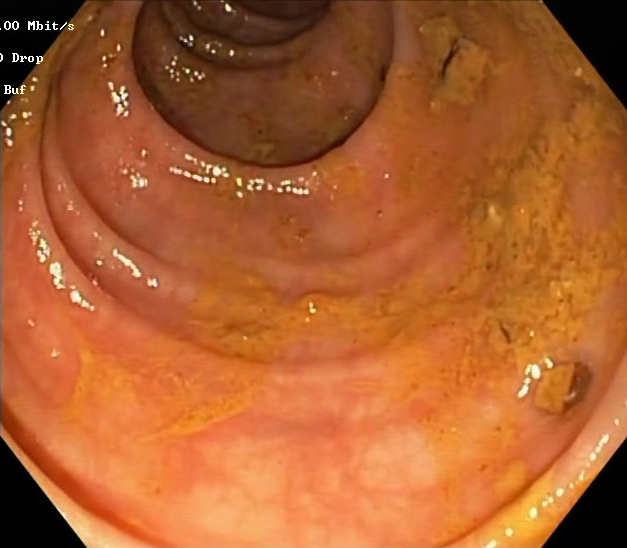Colonoscopy — BBPS score 0–1 (inadequate preparation).